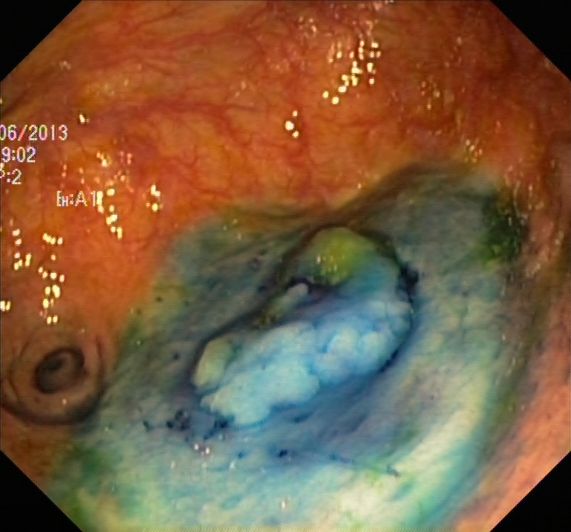Dyed and lifted polyp (pre-resection).